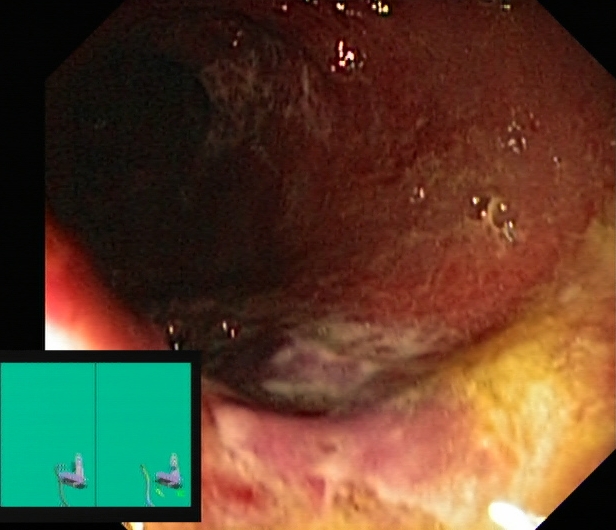This endoscopy frame of the lower GI tract shows UC, Mayo endoscopic subscore 2.